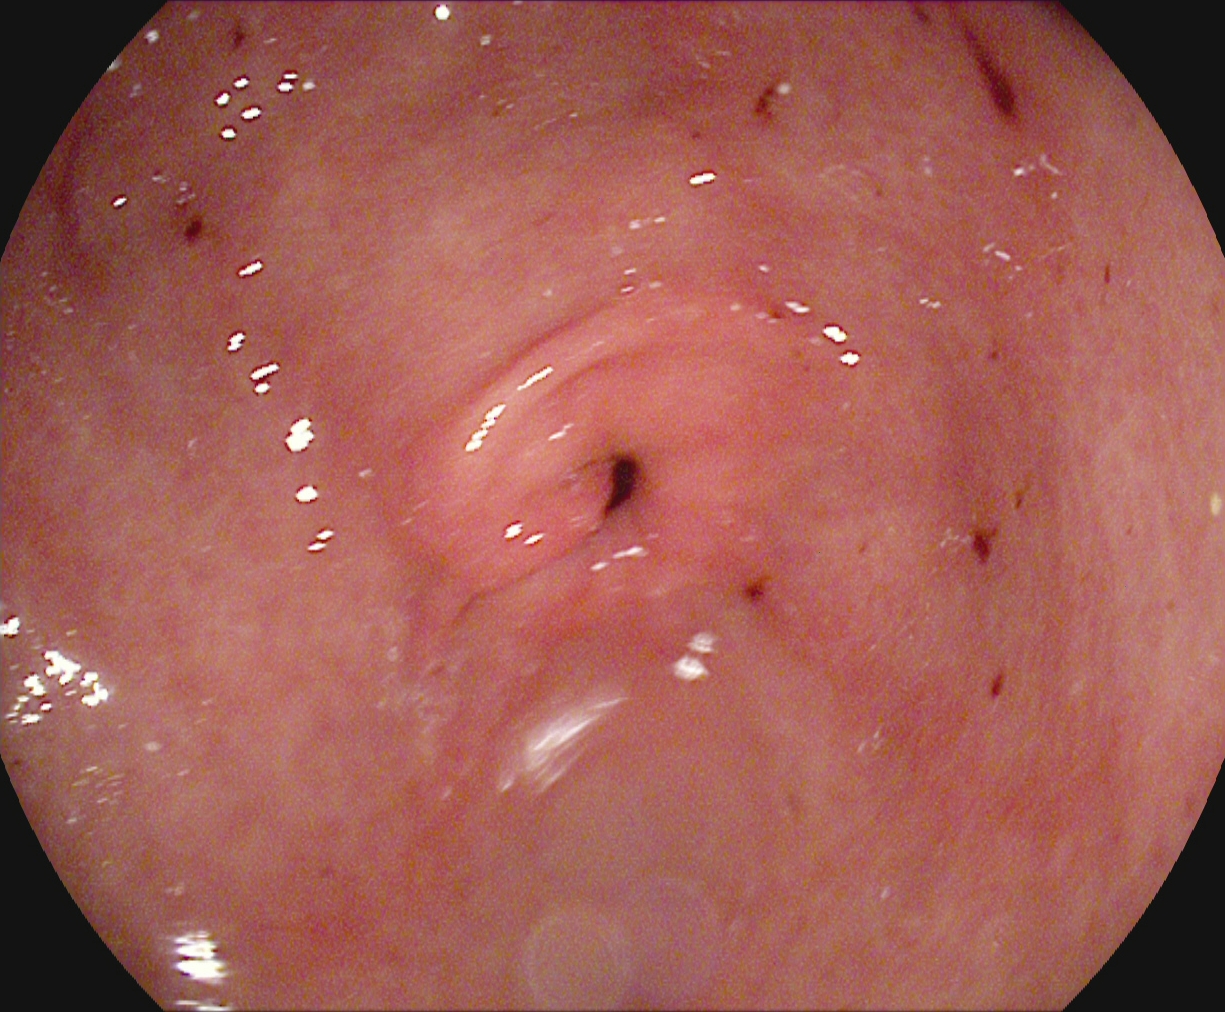Endoscopic frame of the upper GI tract showing pylorus.